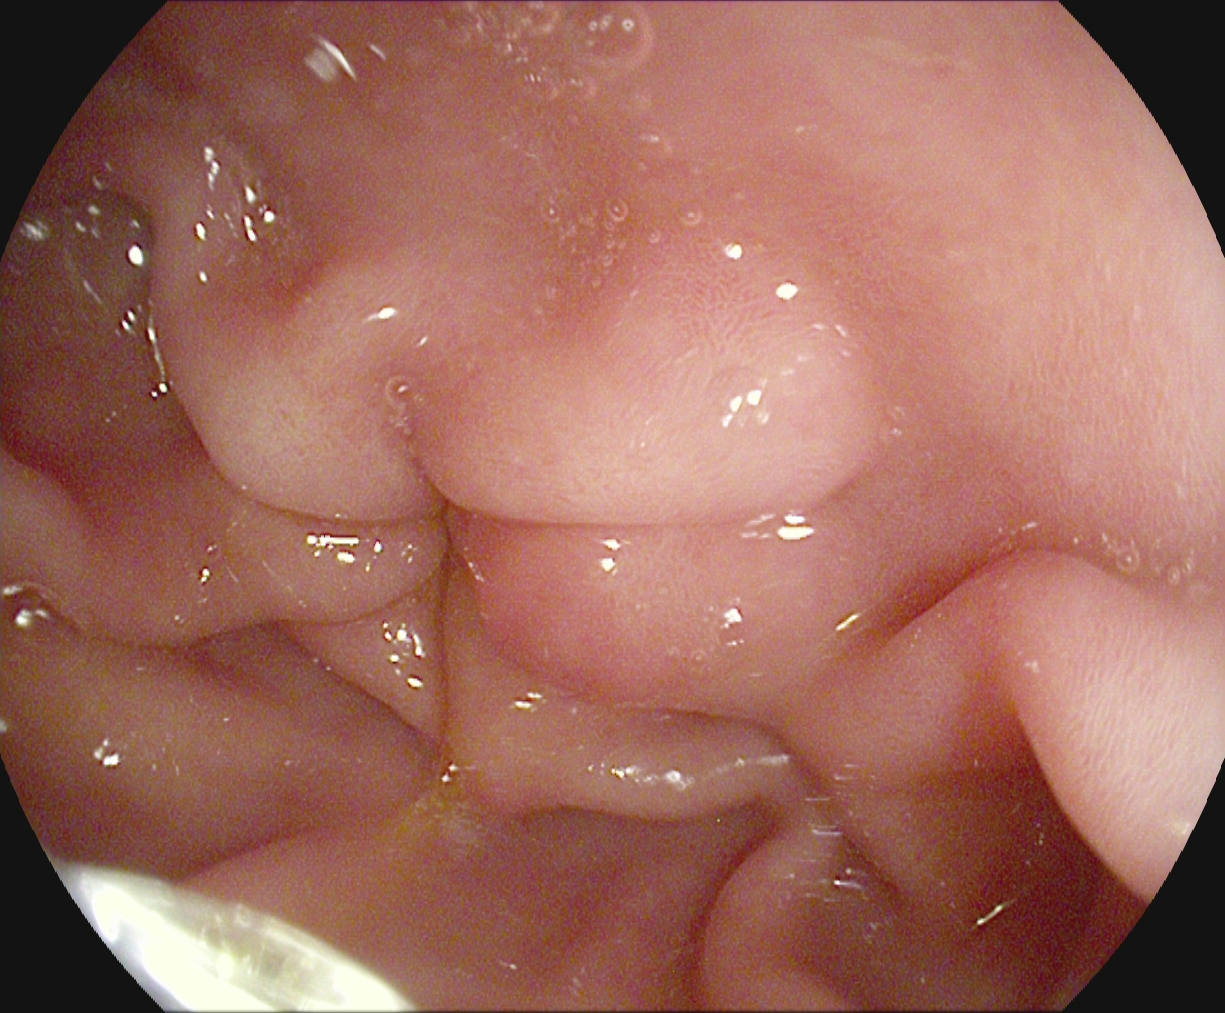PROCEDURE: EGD.
CATEGORY: Anatomical landmark.
FINDINGS: Pylorus.